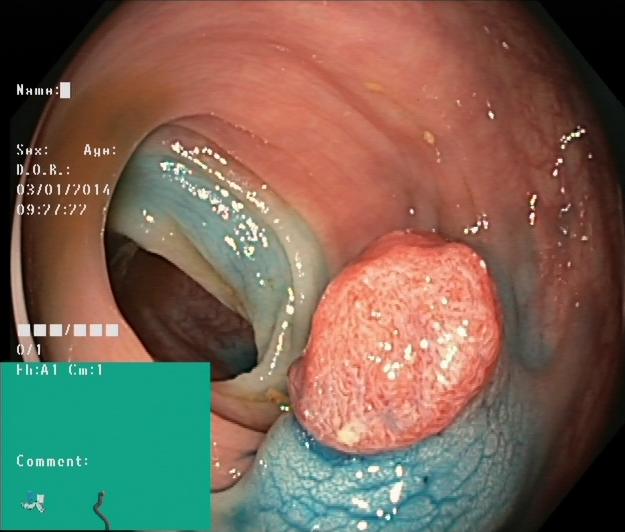dyed and lifted polyp (pre-resection).